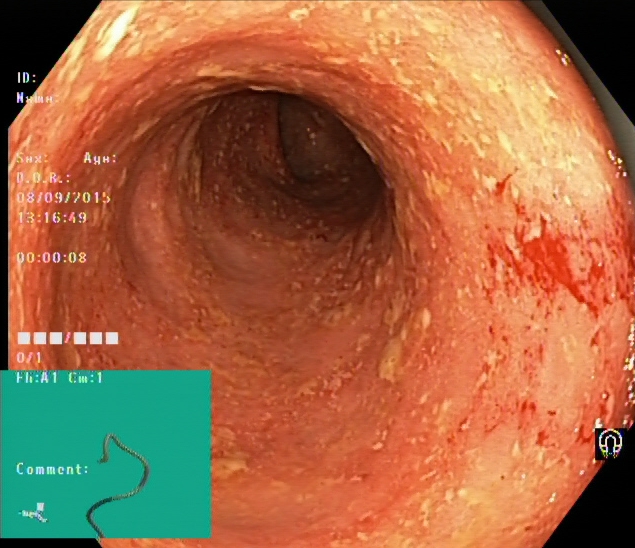Endoscopy image of the lower GI tract showing ulcerative colitis, Mayo endoscopic subscore 2.